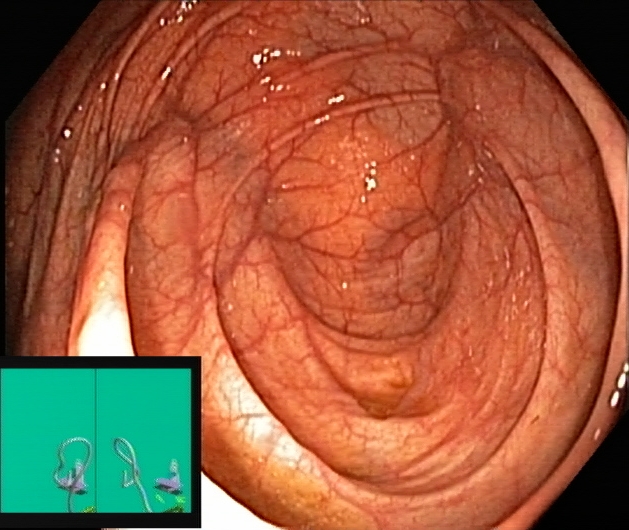Endoscopic image showing cecum.